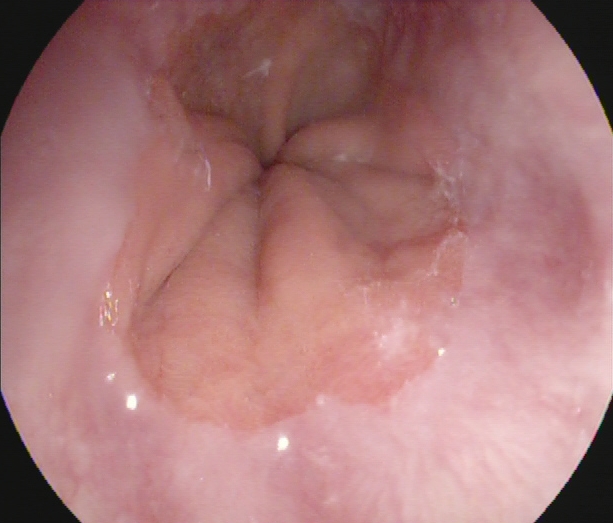PROCEDURE: Esophagogastroduodenoscopy.
FINDINGS: Z-line (gastroesophageal junction).